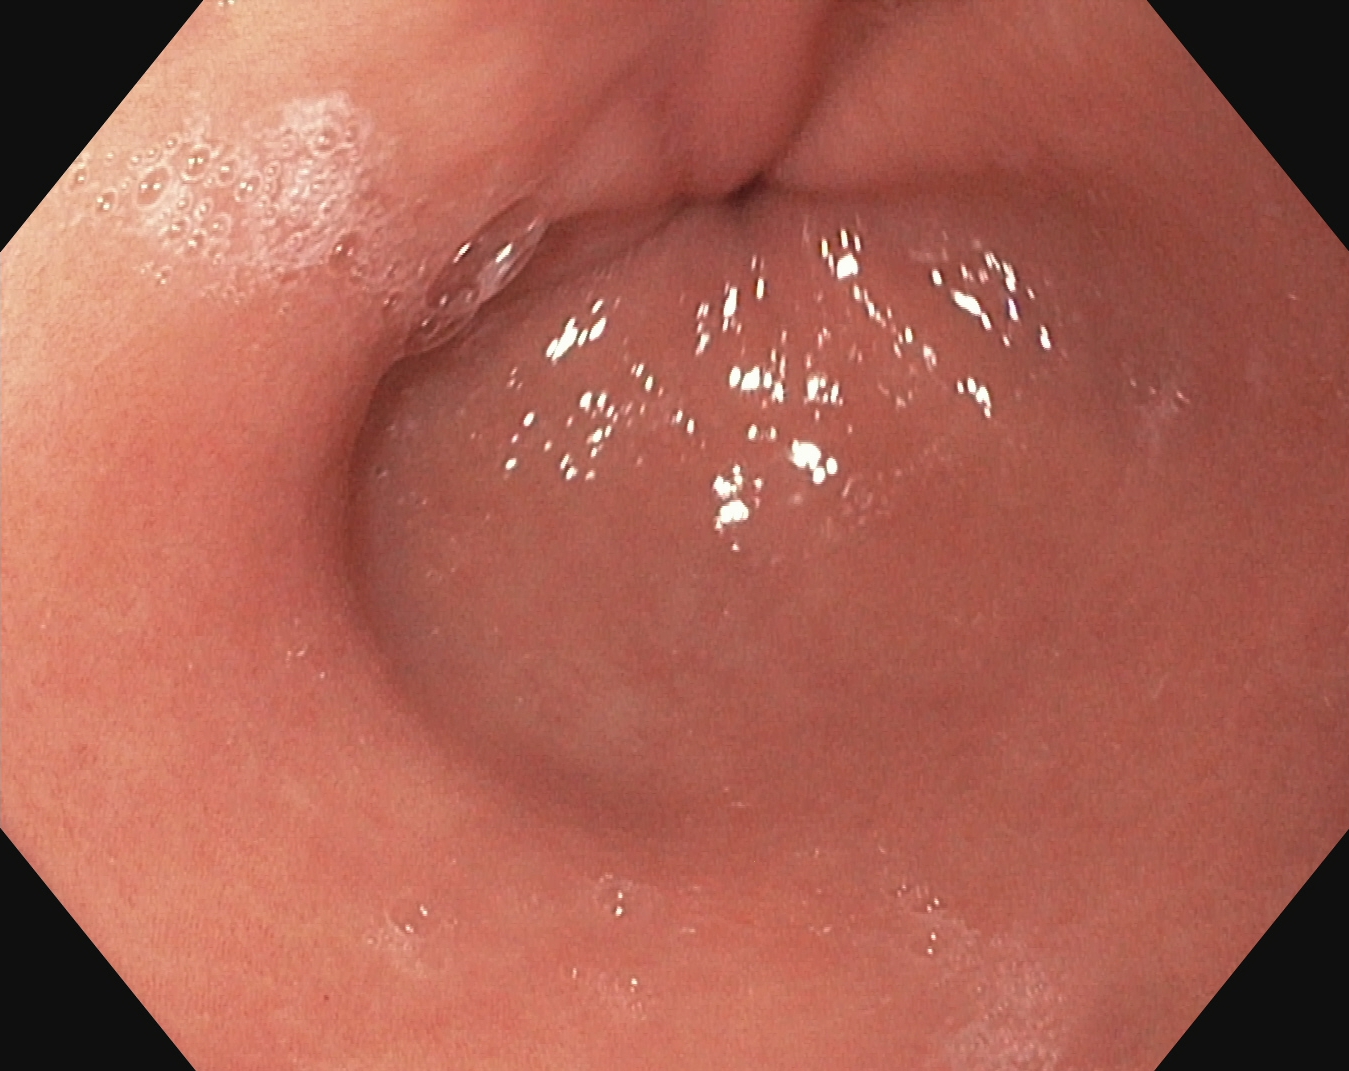Pylorus.